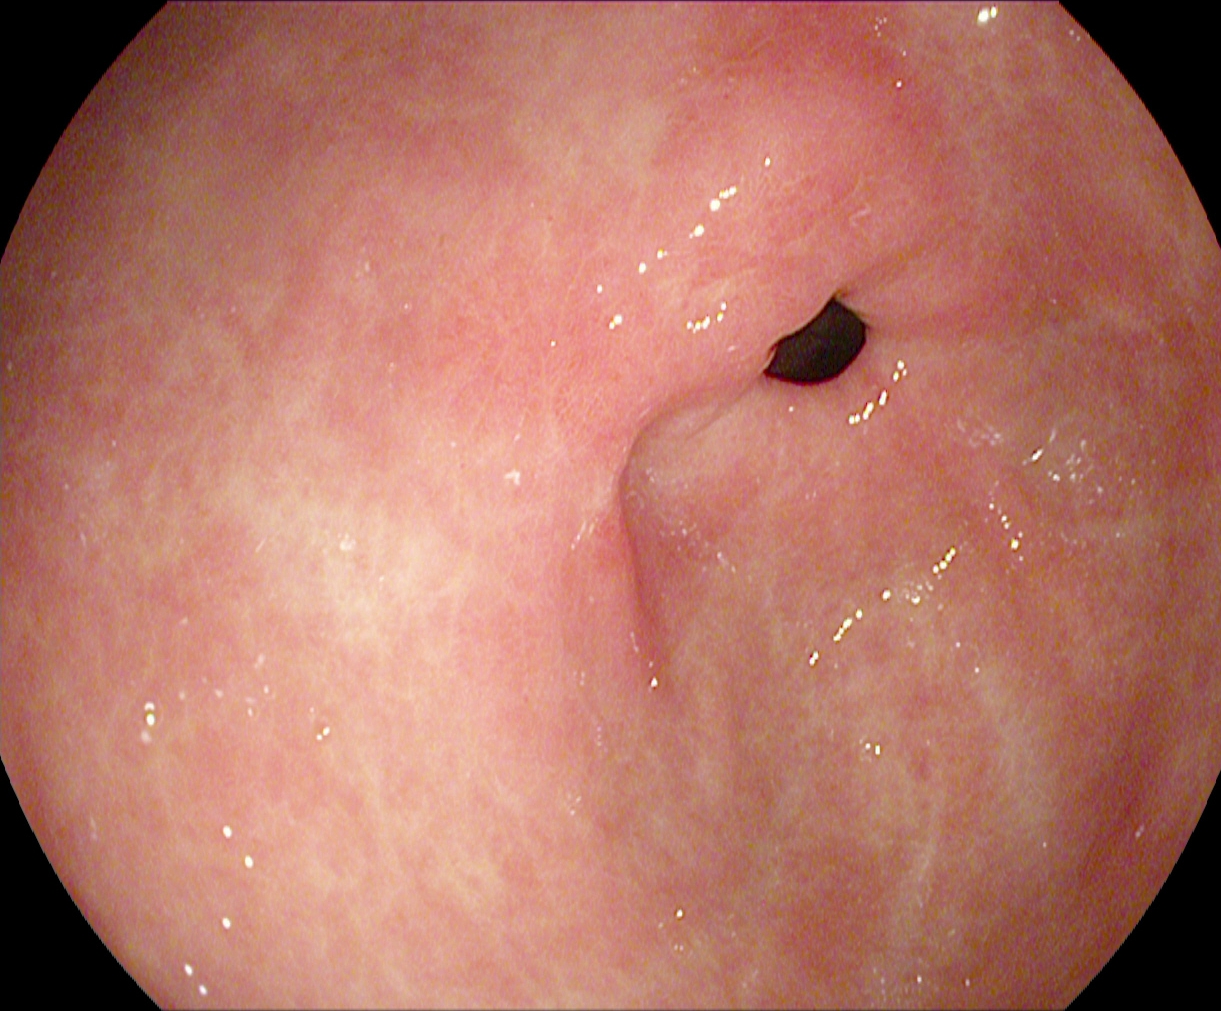Esophagogastroduodenoscopy — pylorus.